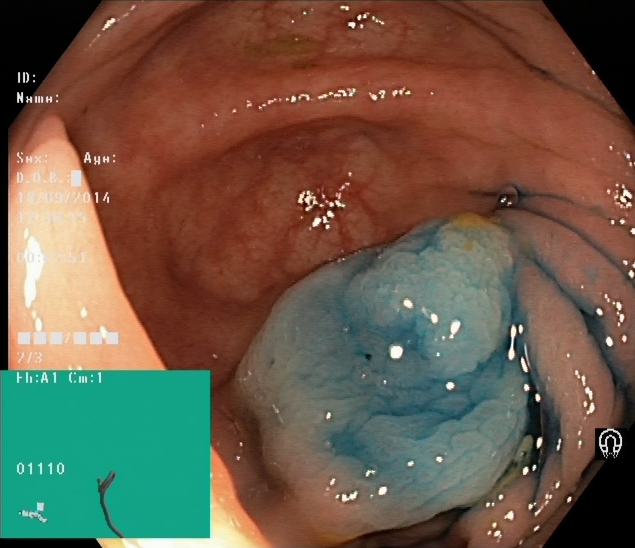Endoscopic image of the lower GI tract showing dyed and lifted polyp (pre-resection).